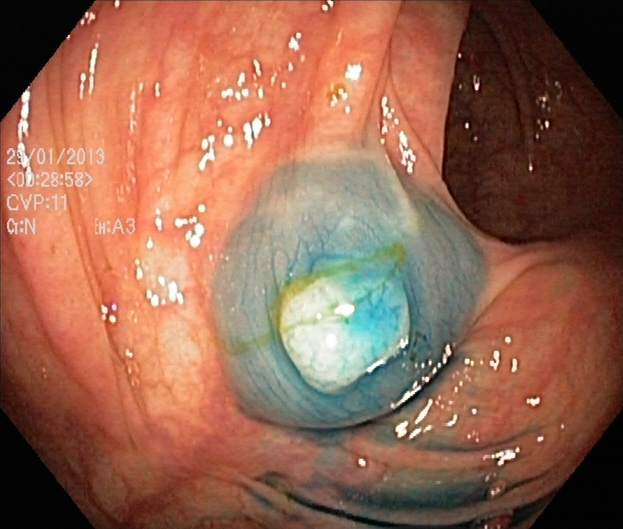Lower-GI endoscopy. Finding: dyed and lifted polyp (pre-resection).